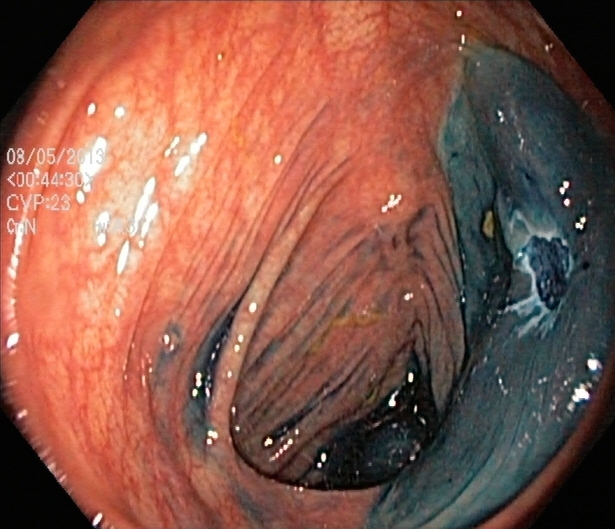{"modality": "lower-GI endoscopy", "finding": "dyed resection margins (post-polypectomy)"}